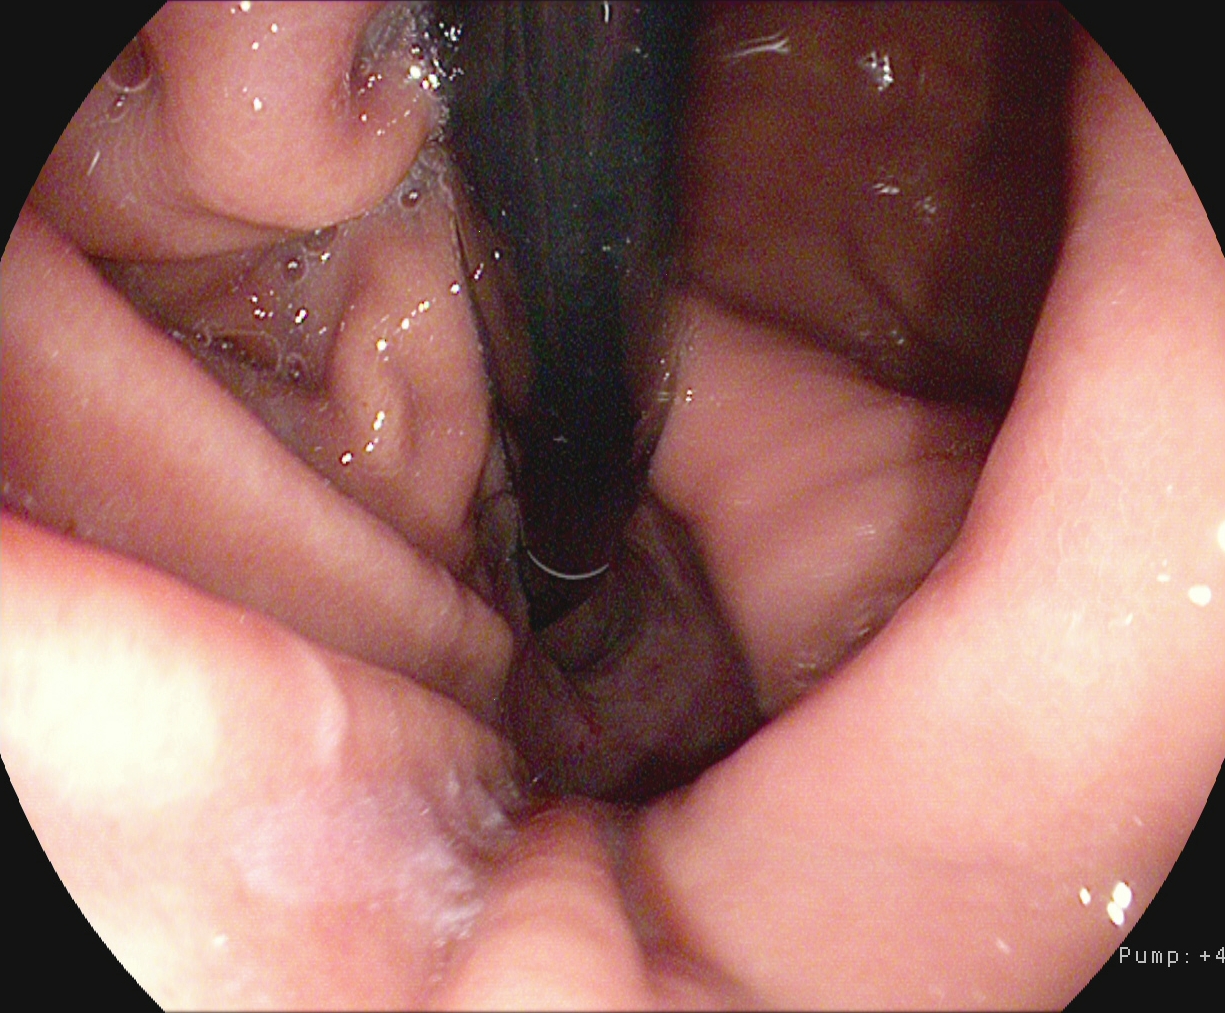Esophagogastroduodenoscopy. Tract: upper GI tract. Finding: stomach in retroflexion.